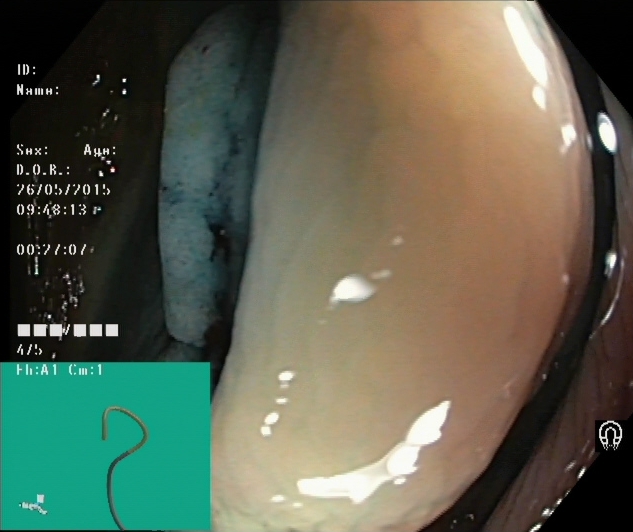Lower gastrointestinal endoscopy. Finding: dyed and lifted polyp (pre-resection).